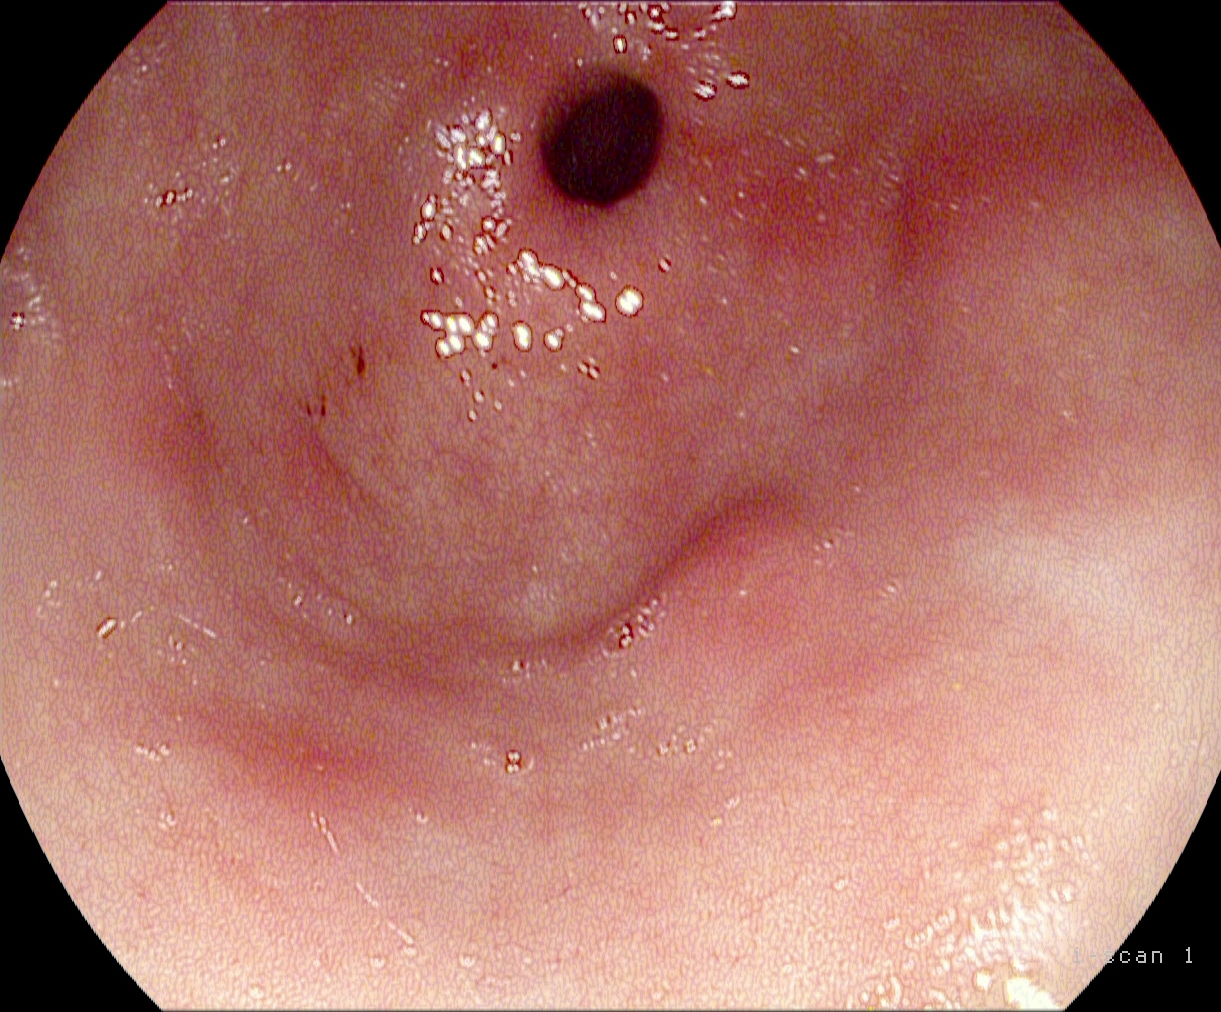PROCEDURE: Esophagogastroduodenoscopy.
FINDINGS: Pylorus.